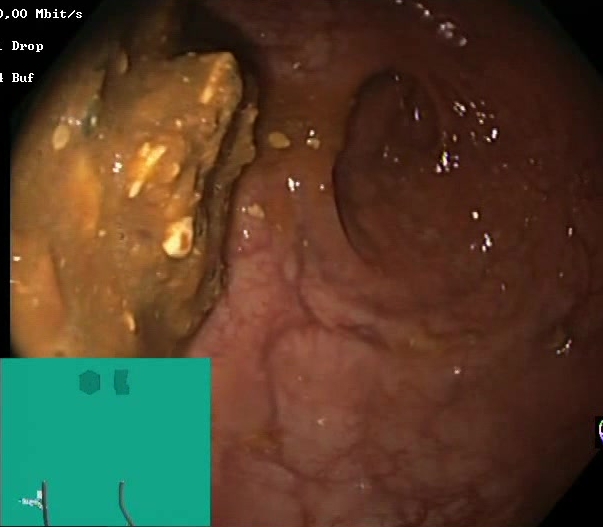Endoscopy image of the lower GI tract showing Boston Bowel Preparation Scale score 0–1 (inadequate preparation).